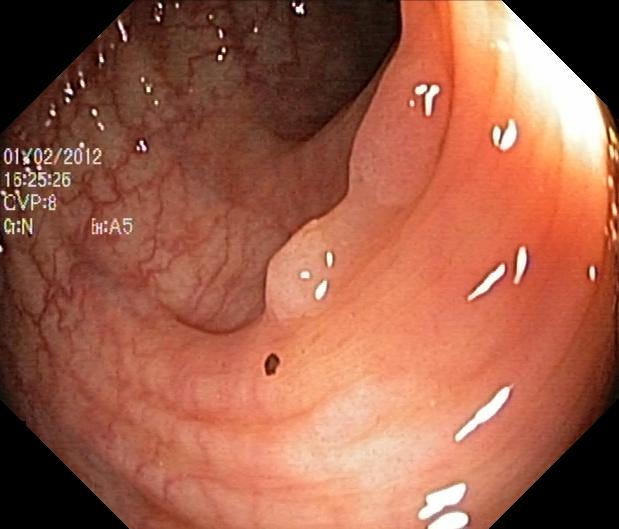Lower-GI endoscopy — colorectal polyp(s).